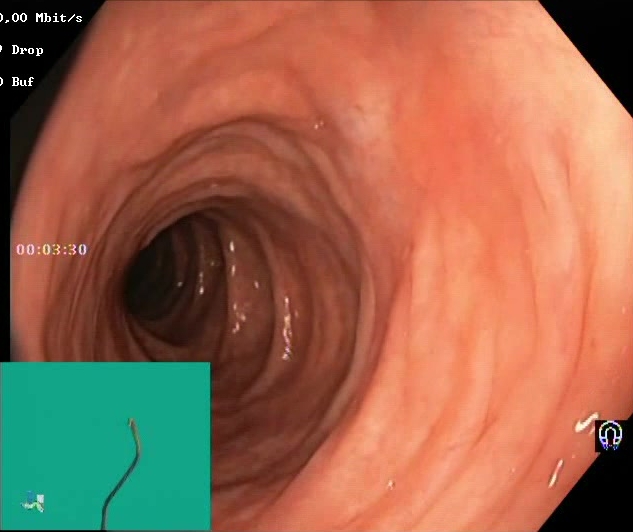Lower-GI endoscopy — Boston Bowel Preparation Scale score 2–3 (adequate preparation).